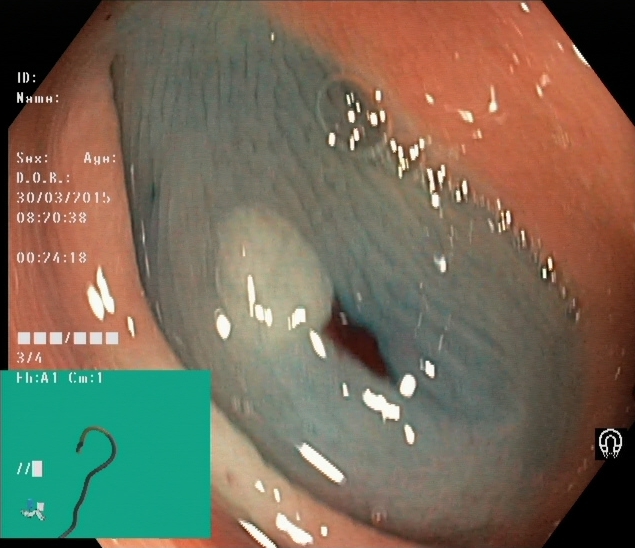PROCEDURE: Lower gastrointestinal endoscopy.
CATEGORY: Therapeutic intervention.
FINDINGS: Dyed and lifted polyp (pre-resection).